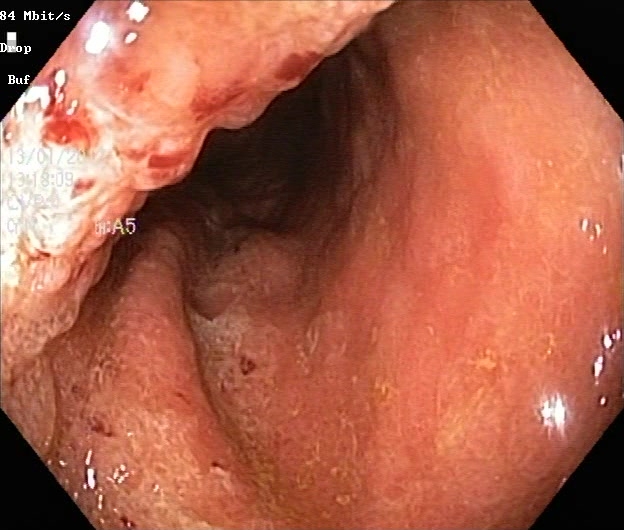Lower gastrointestinal endoscopy. Tract: lower GI tract. Finding: colorectal polyp(s).